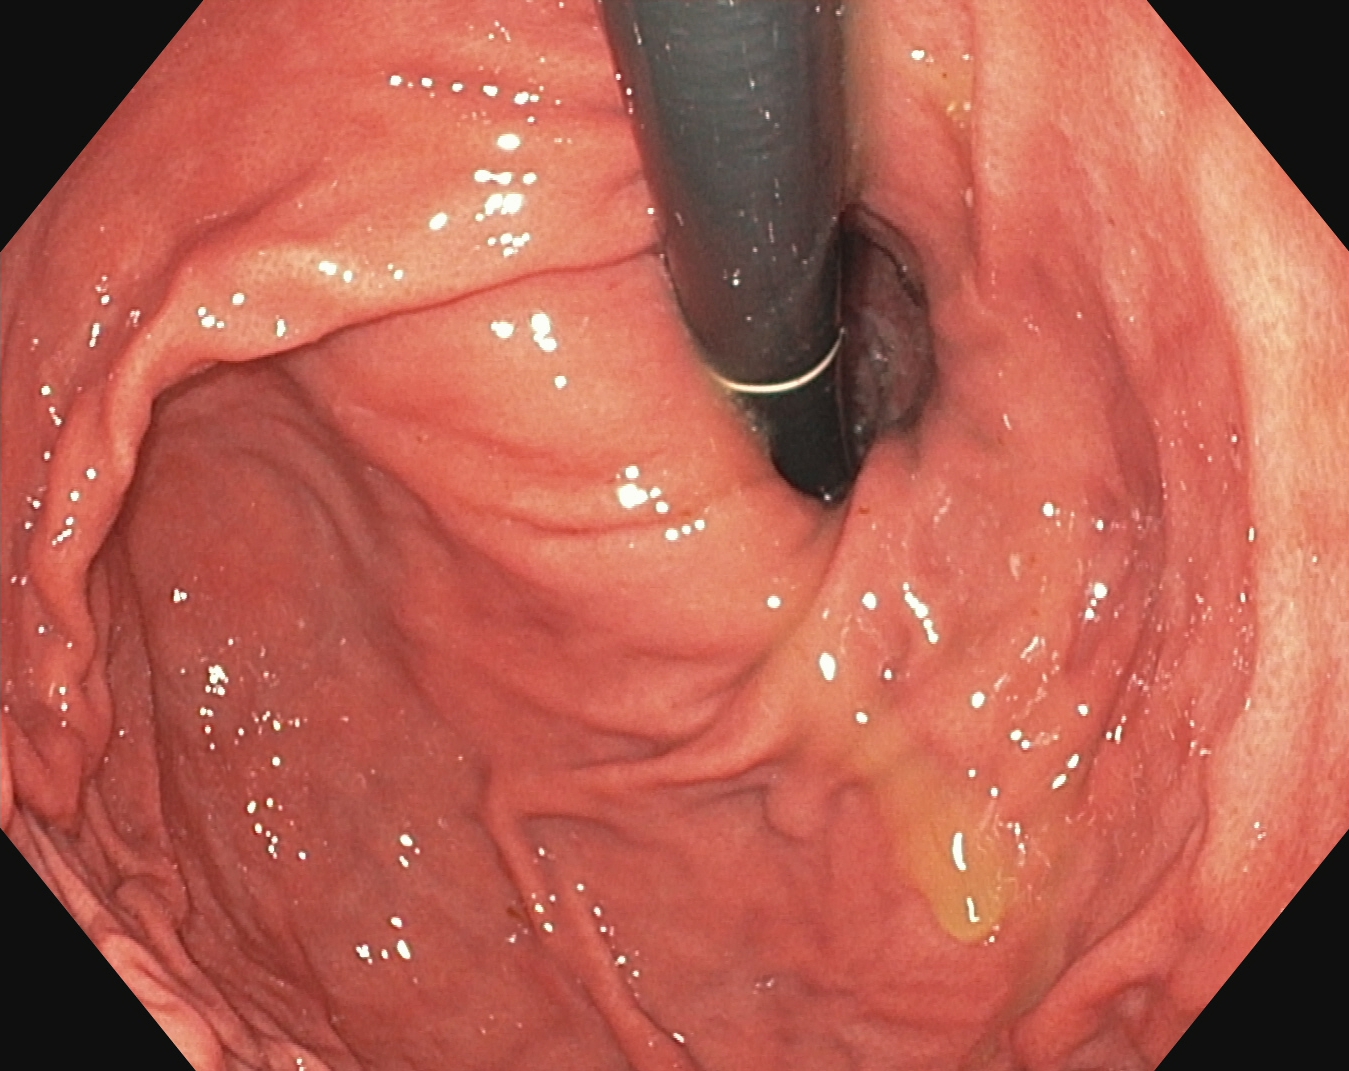{"modality": "esophagogastroduodenoscopy", "category": "anatomical landmark", "finding": "stomach in retroflexion"}